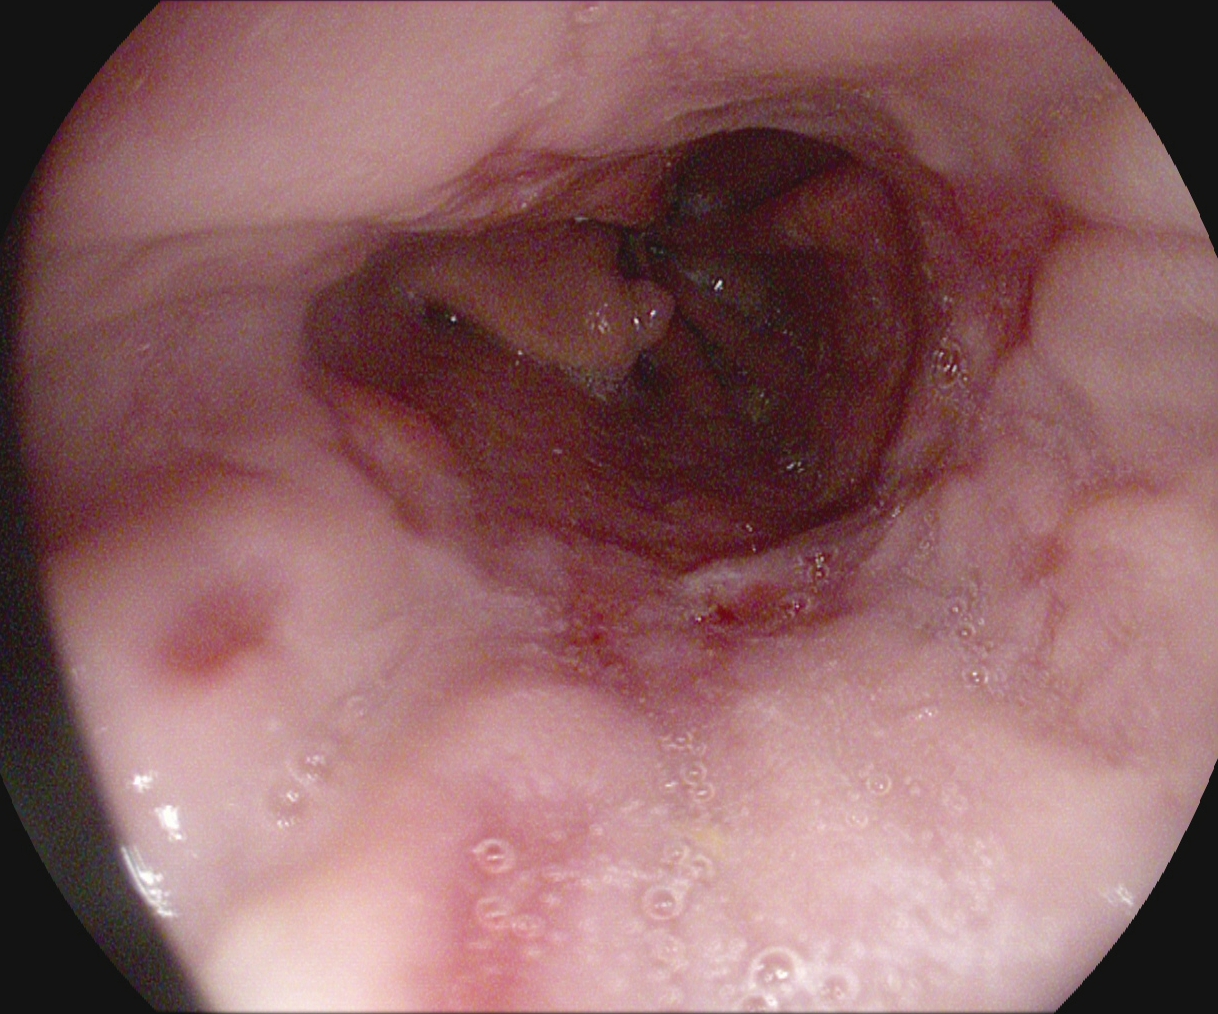Gastrointestinal endoscopy image showing reflux esophagitis, Los Angeles grade B–D.